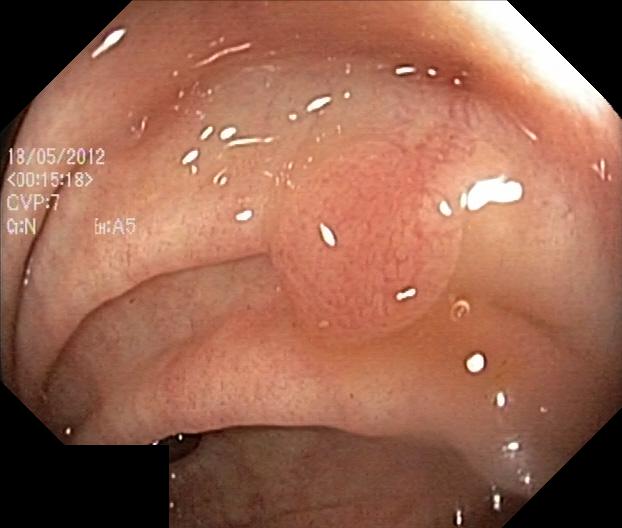Lower-GI endoscopy. Finding: colorectal polyp(s).